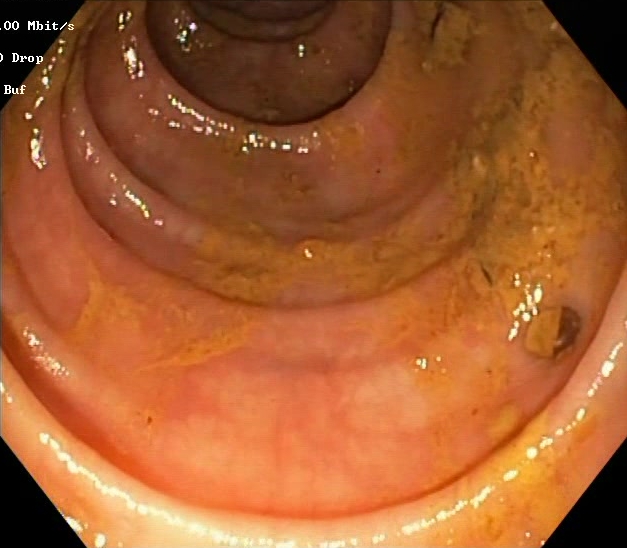PROCEDURE: Lower-GI endoscopy.
FINDINGS: Boston Bowel Preparation Scale score 0–1 (inadequate preparation).